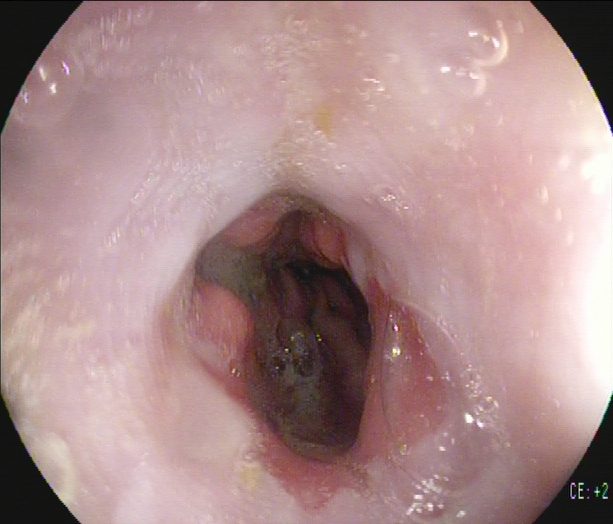This endoscopic image shows Z-line (gastroesophageal junction).